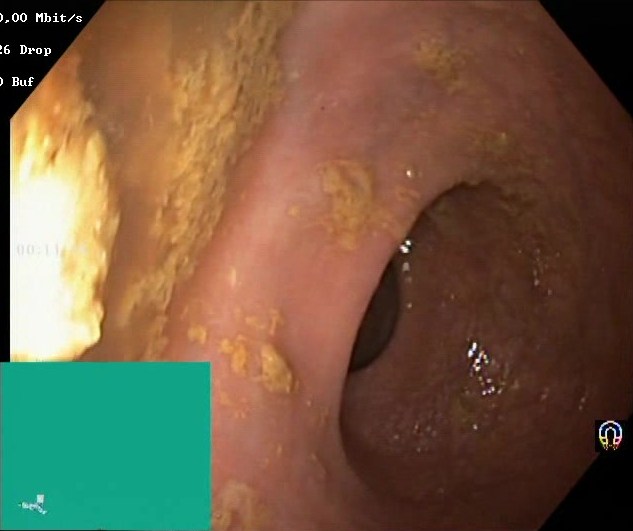Lower-GI endoscopy — Boston Bowel Preparation Scale score 0–1 (inadequate preparation).